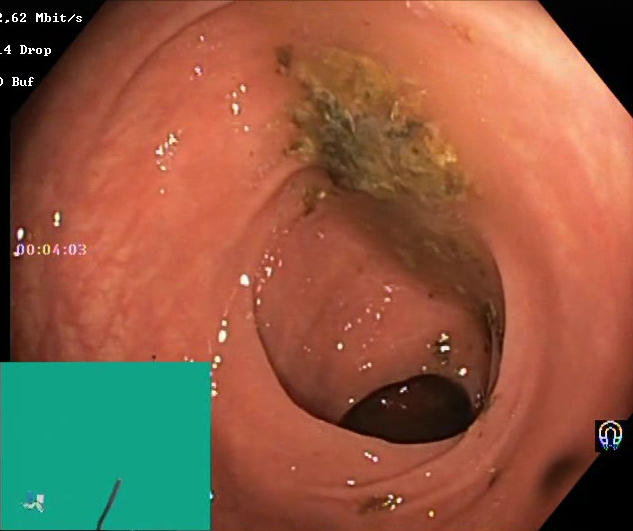Lower-GI endoscopy — Boston Bowel Preparation Scale score 0–1 (inadequate preparation).